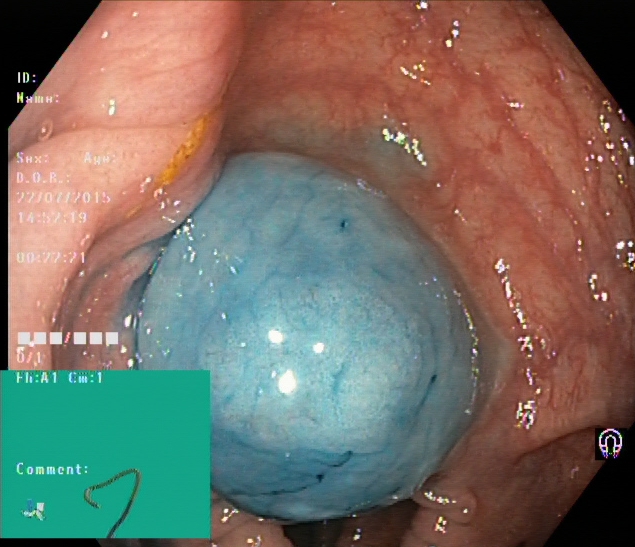Lower gastrointestinal endoscopy. Tract: lower GI tract. Finding: dyed and lifted polyp (pre-resection).